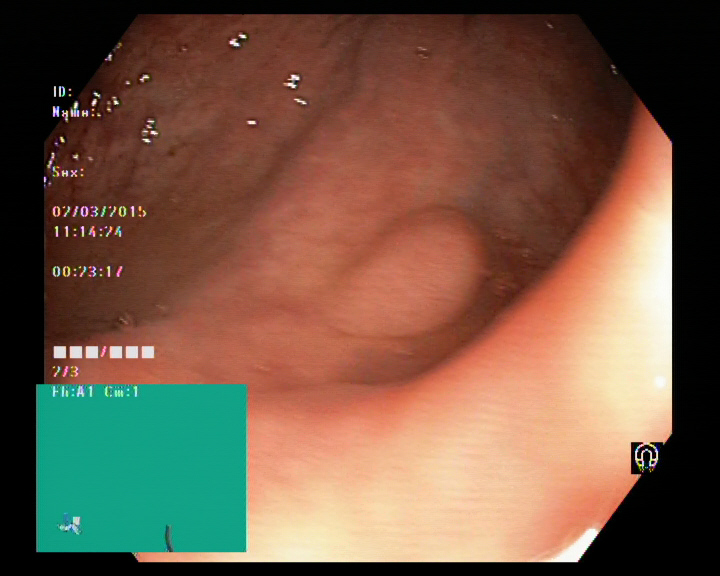Gastrointestinal endoscopy image showing colorectal polyp(s).